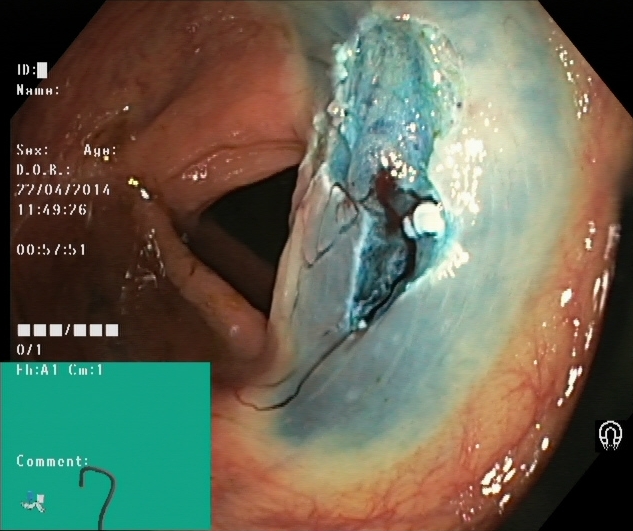Colonoscopy image of the lower GI tract showing dyed resection margins (post-polypectomy).